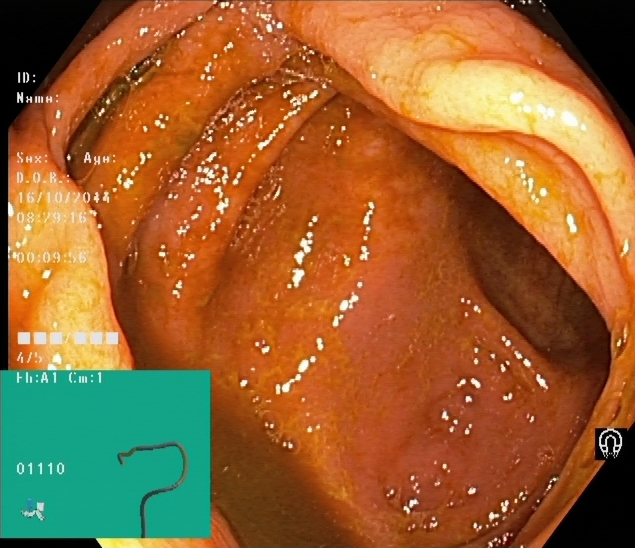Lower-GI endoscopy. Finding: cecum.